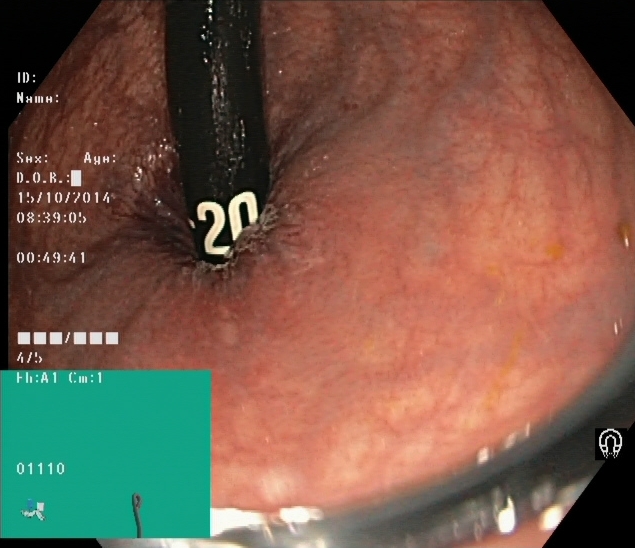This endoscopic image of the lower GI tract shows rectum in retroflexion.